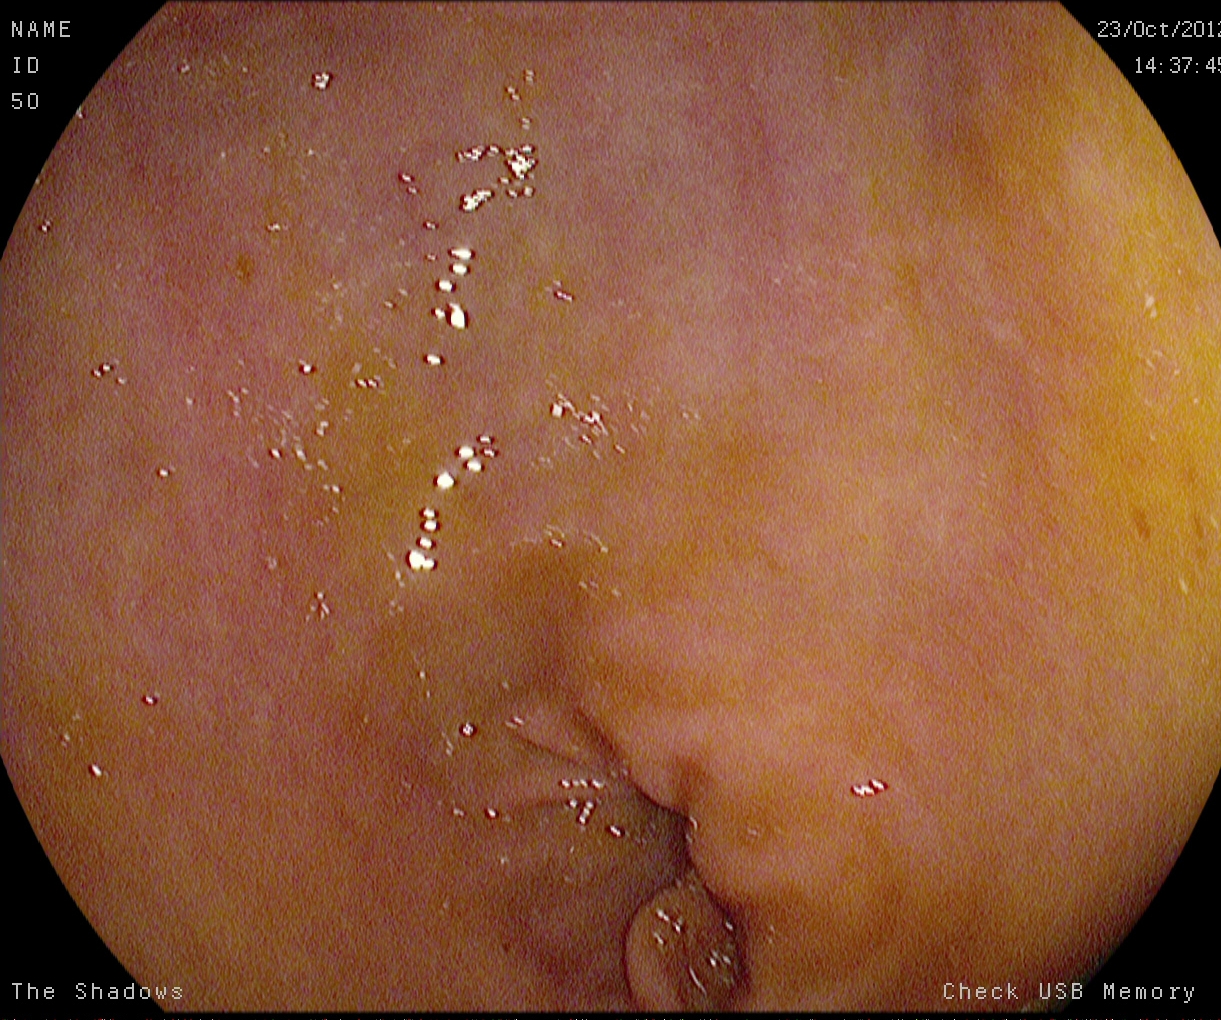Upper-GI endoscopy. Tract: upper GI tract. Anatomical landmark. Finding: pylorus.